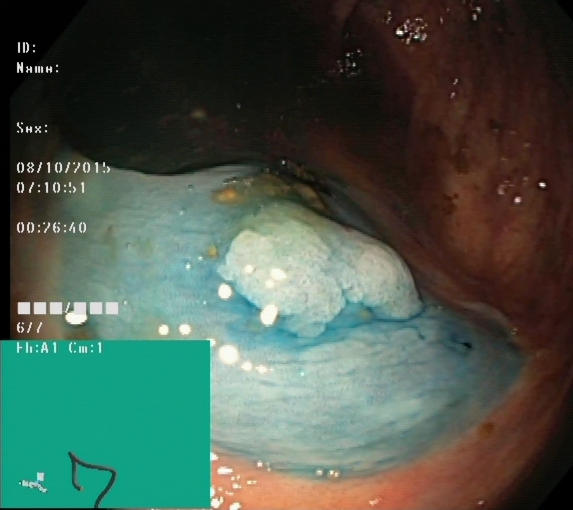This endoscopy frame of the lower GI tract shows dyed and lifted polyp (pre-resection).